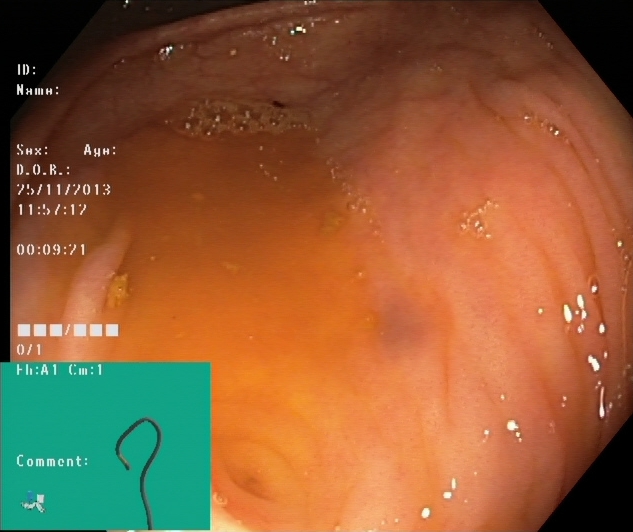{"modality": "colonoscopy", "tract": "lower GI tract", "finding": "cecum"}